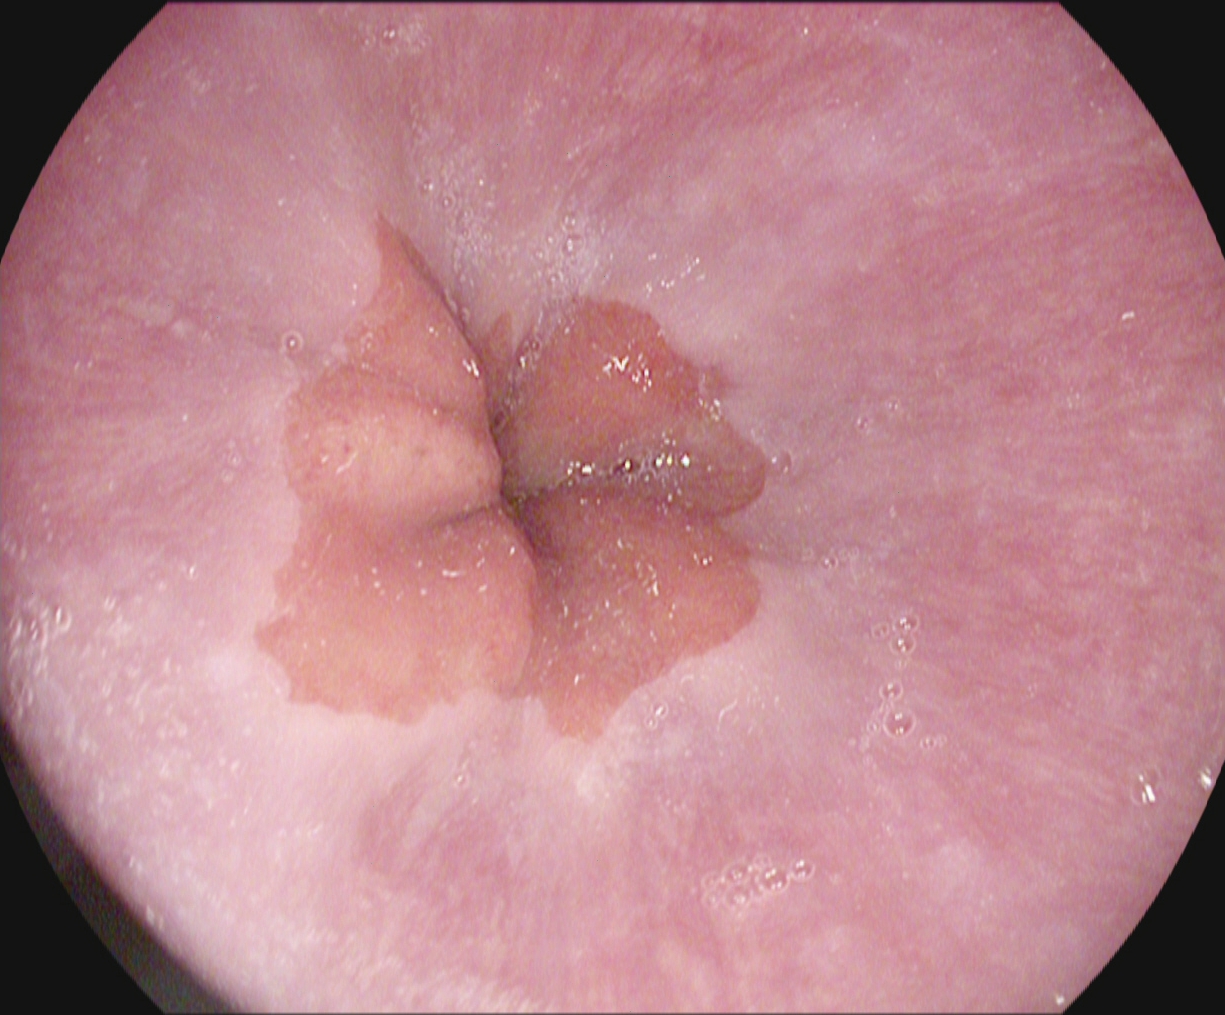Z-line (gastroesophageal junction).